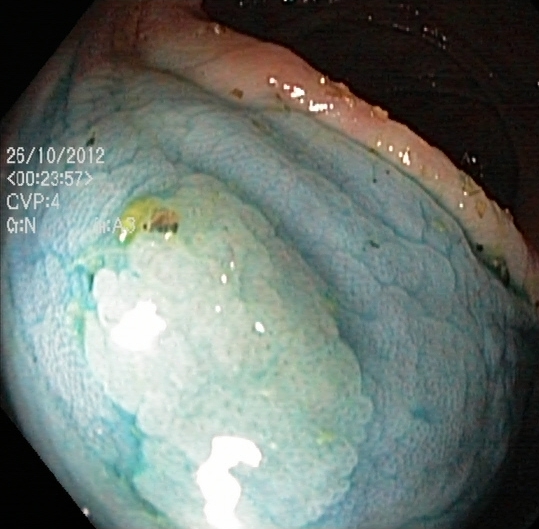PROCEDURE: Colonoscopy.
FINDINGS: Dyed and lifted polyp (pre-resection).